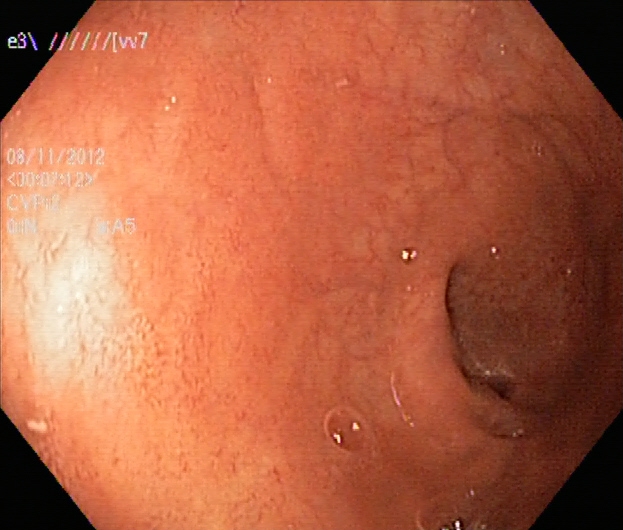Gastrointestinal endoscopy image of the lower GI tract showing ulcerative colitis, Mayo endoscopic subscore 1.